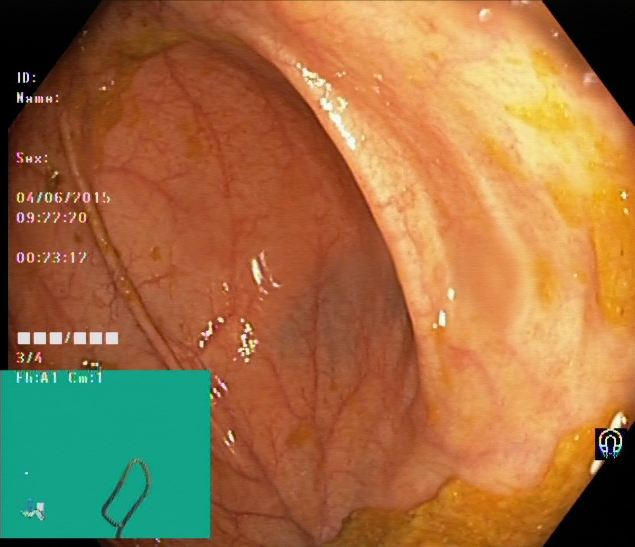Lower-GI endoscopy. Tract: lower GI tract. Anatomical landmark. Finding: cecum.